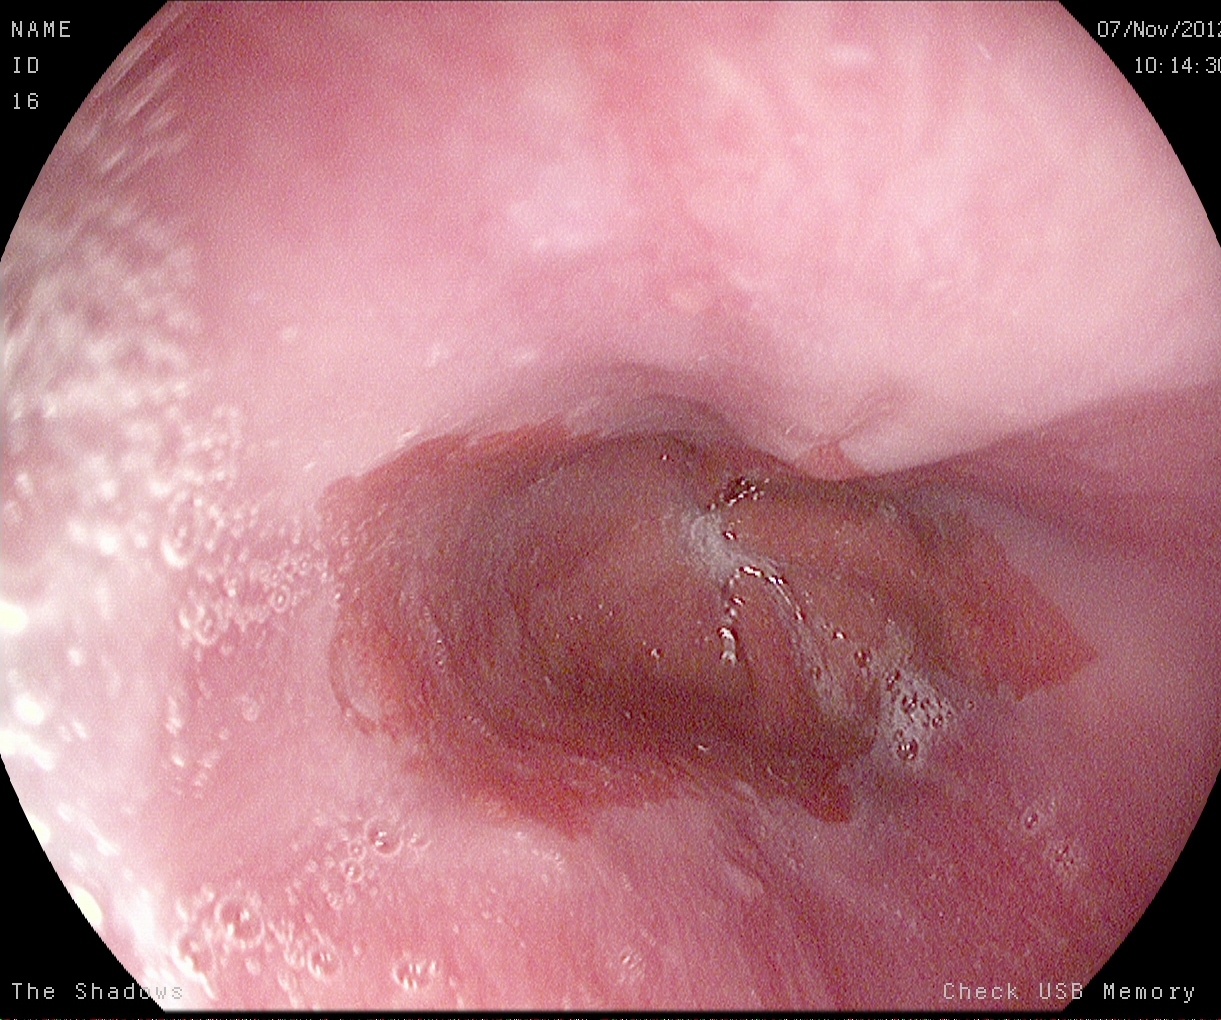Gastroscopy. Finding: Barrett's esophagus, short segment.